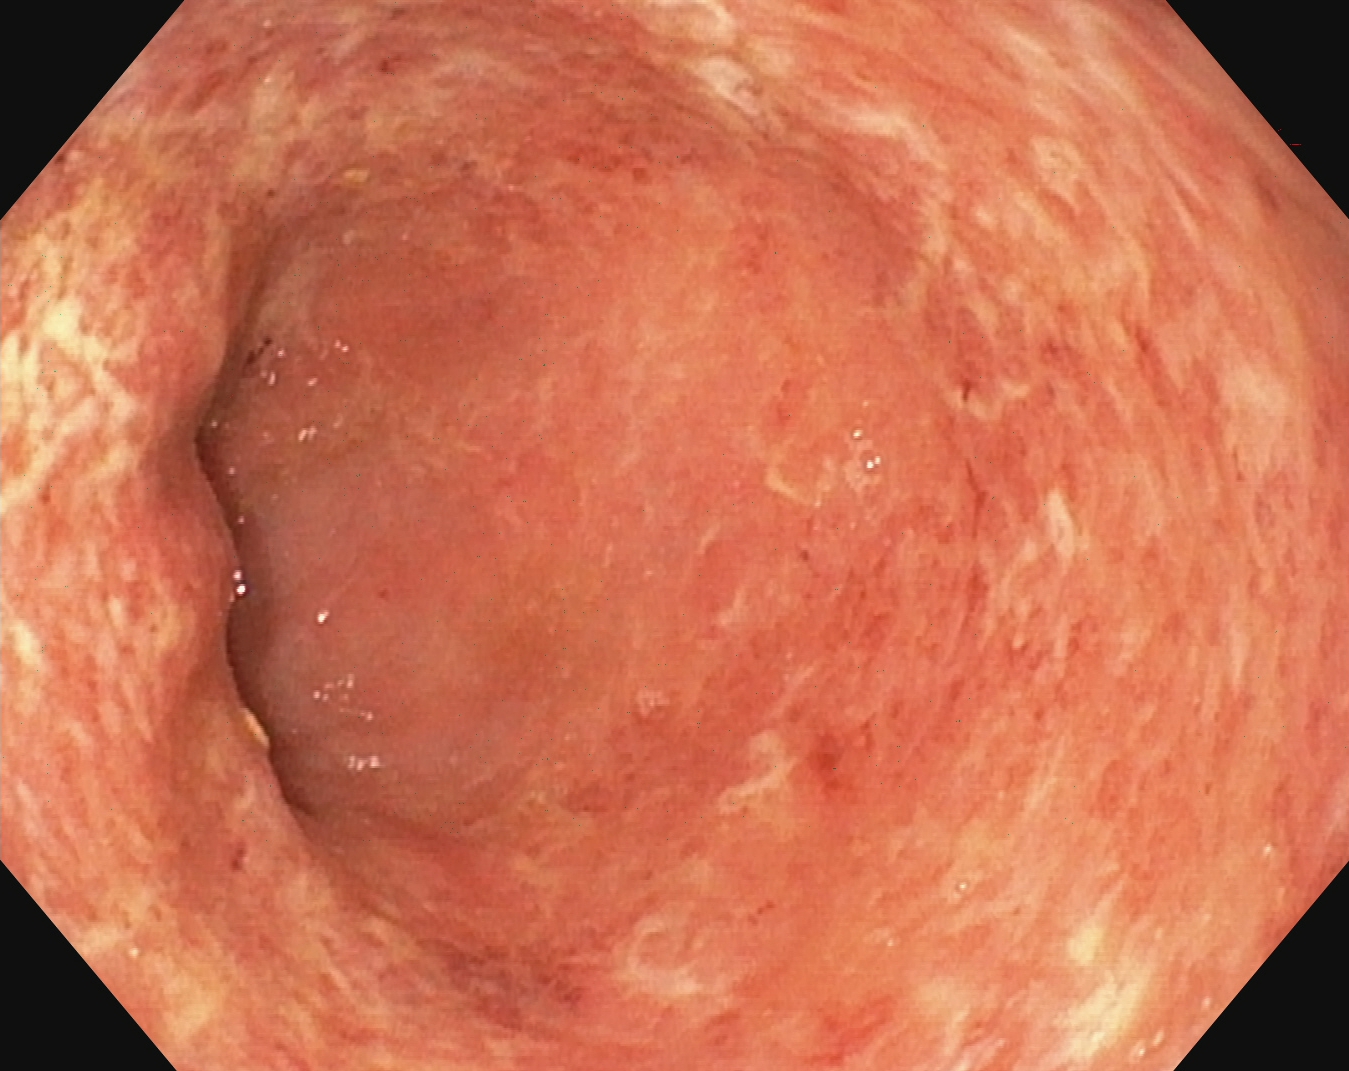Endoscopy image of the lower GI tract showing ulcerative colitis, Mayo endoscopic subscore 2.